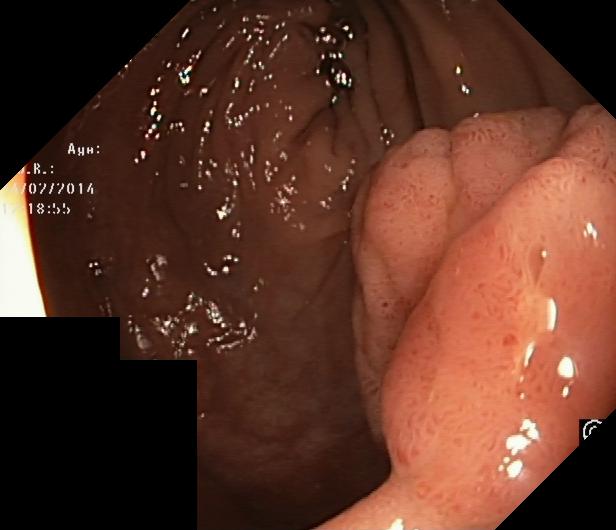Colorectal polyp(s).